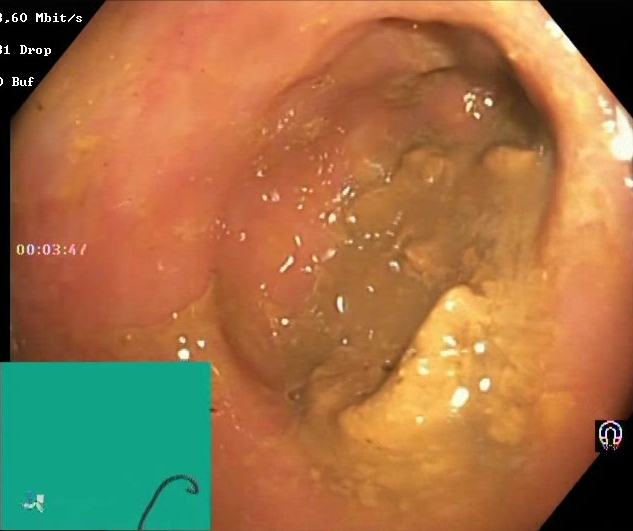Colonoscopy. Tract: lower GI tract. Mucosal-view quality. Finding: Boston Bowel Preparation Scale score 0–1 (inadequate preparation).